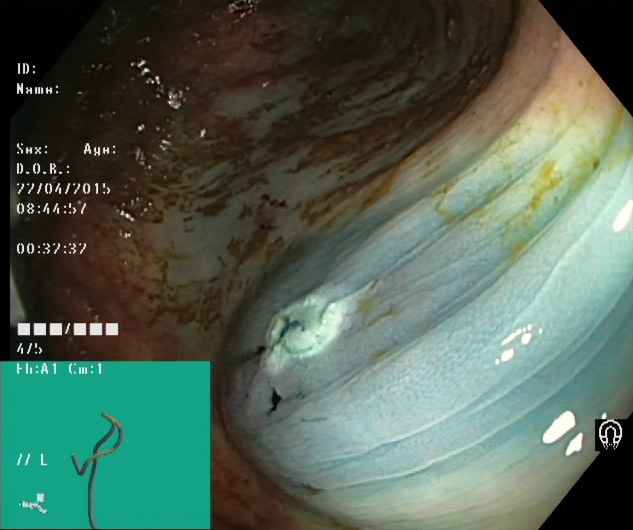{"modality": "colonoscopy", "tract": "lower GI tract", "finding": "dyed resection margins (post-polypectomy)"}